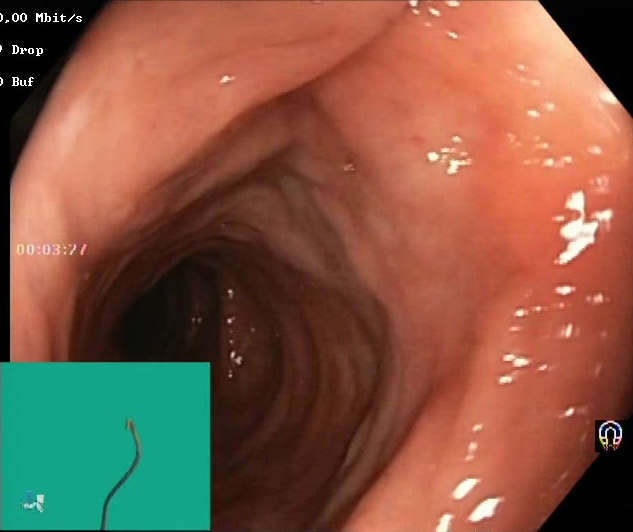Boston Bowel Preparation Scale score 2–3 (adequate preparation).